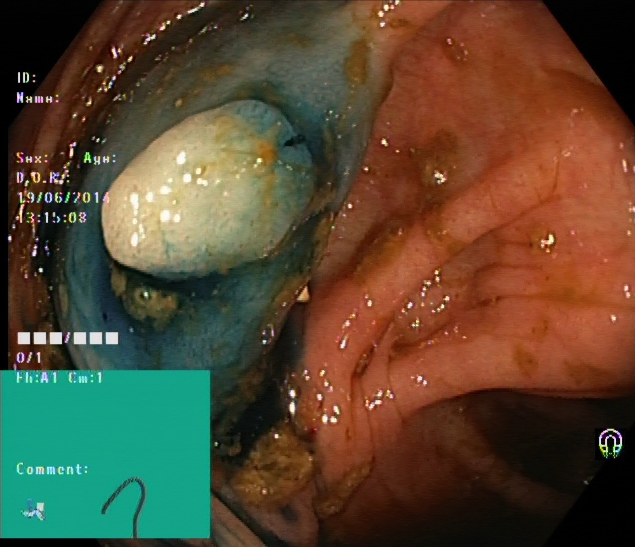Lower-GI endoscopy. Tract: lower GI tract. Finding: dyed and lifted polyp (pre-resection).